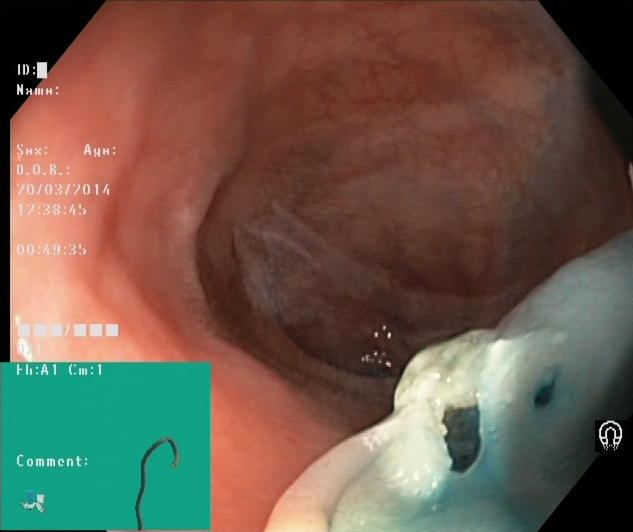GI endoscopy image of the lower GI tract showing dyed resection margins (post-polypectomy).